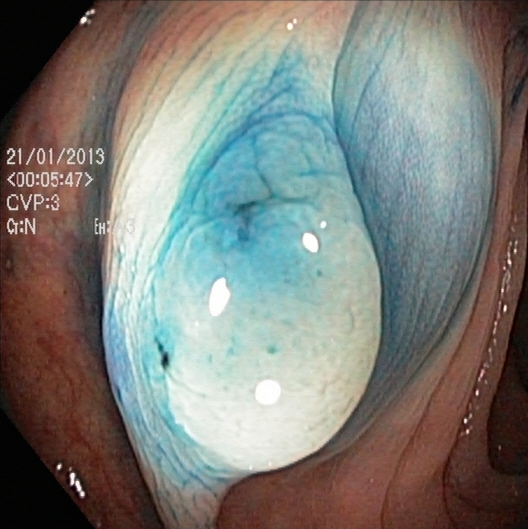Lower-GI endoscopy — dyed and lifted polyp (pre-resection).